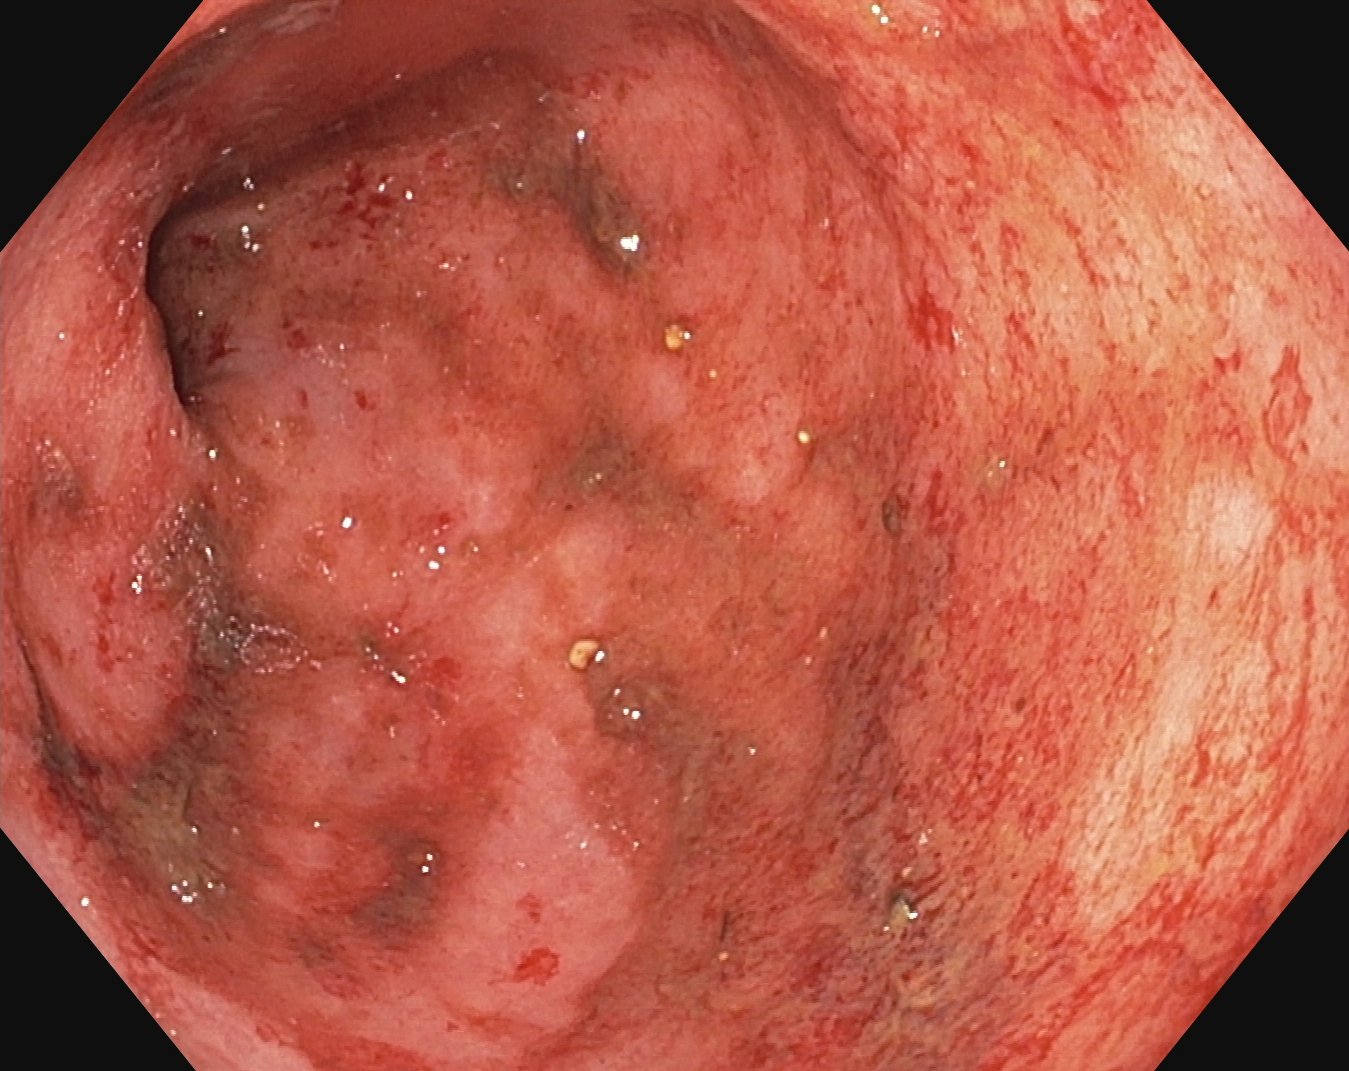Boston Bowel Preparation Scale score 0–1 (inadequate preparation).